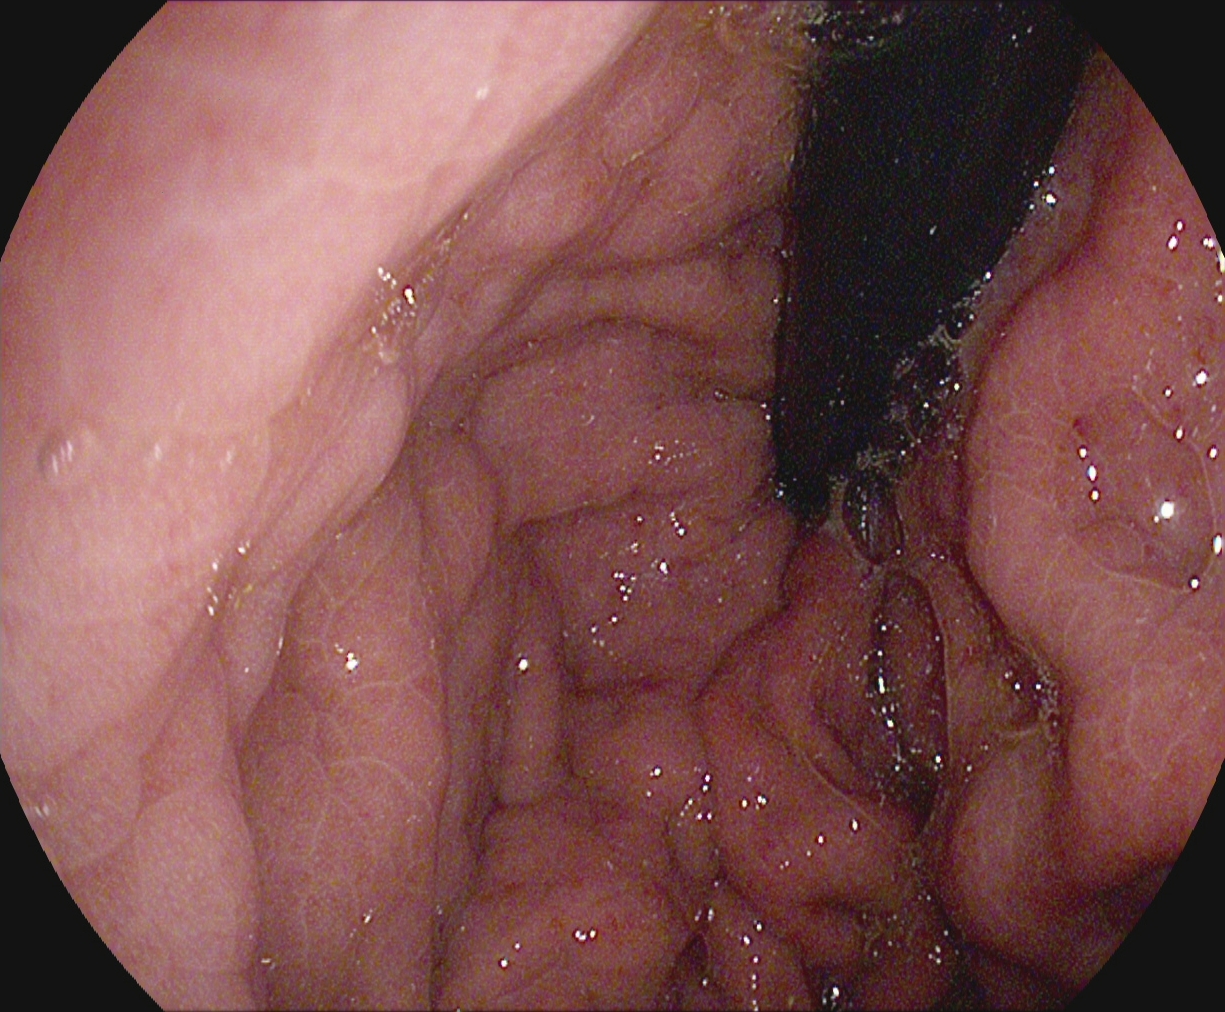Endoscopy image showing stomach in retroflexion.